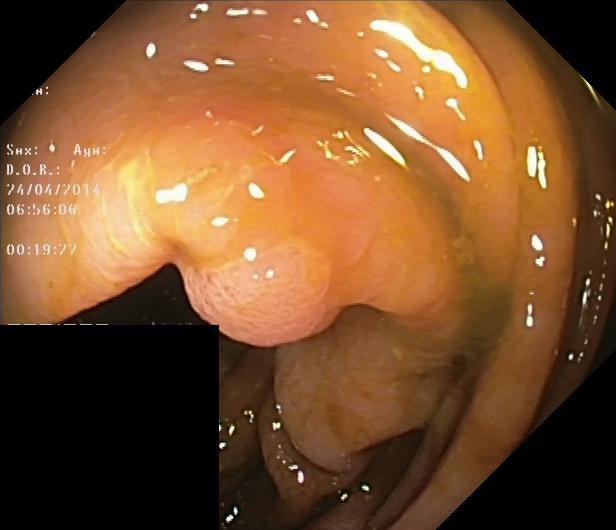Colorectal polyp(s).